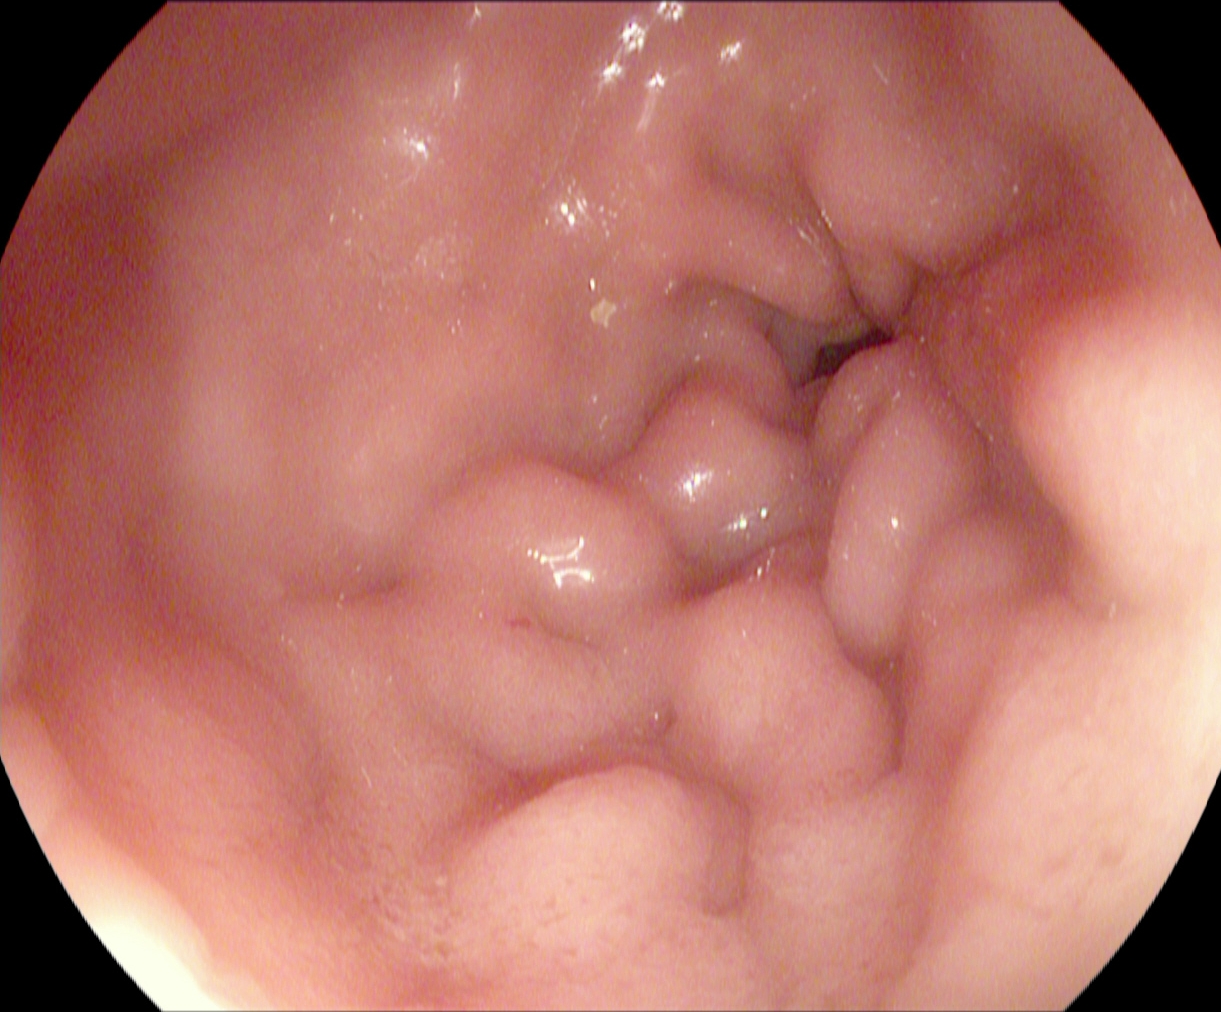PROCEDURE: Upper-GI endoscopy.
FINDINGS: Pylorus.